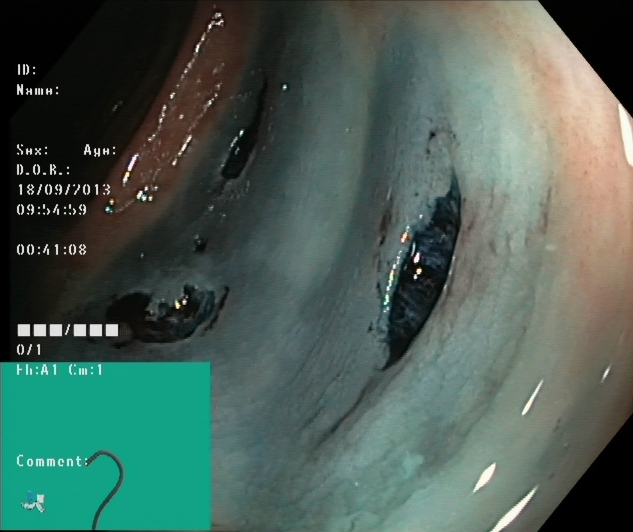This endoscopy frame of the lower GI tract shows dyed resection margins (post-polypectomy).